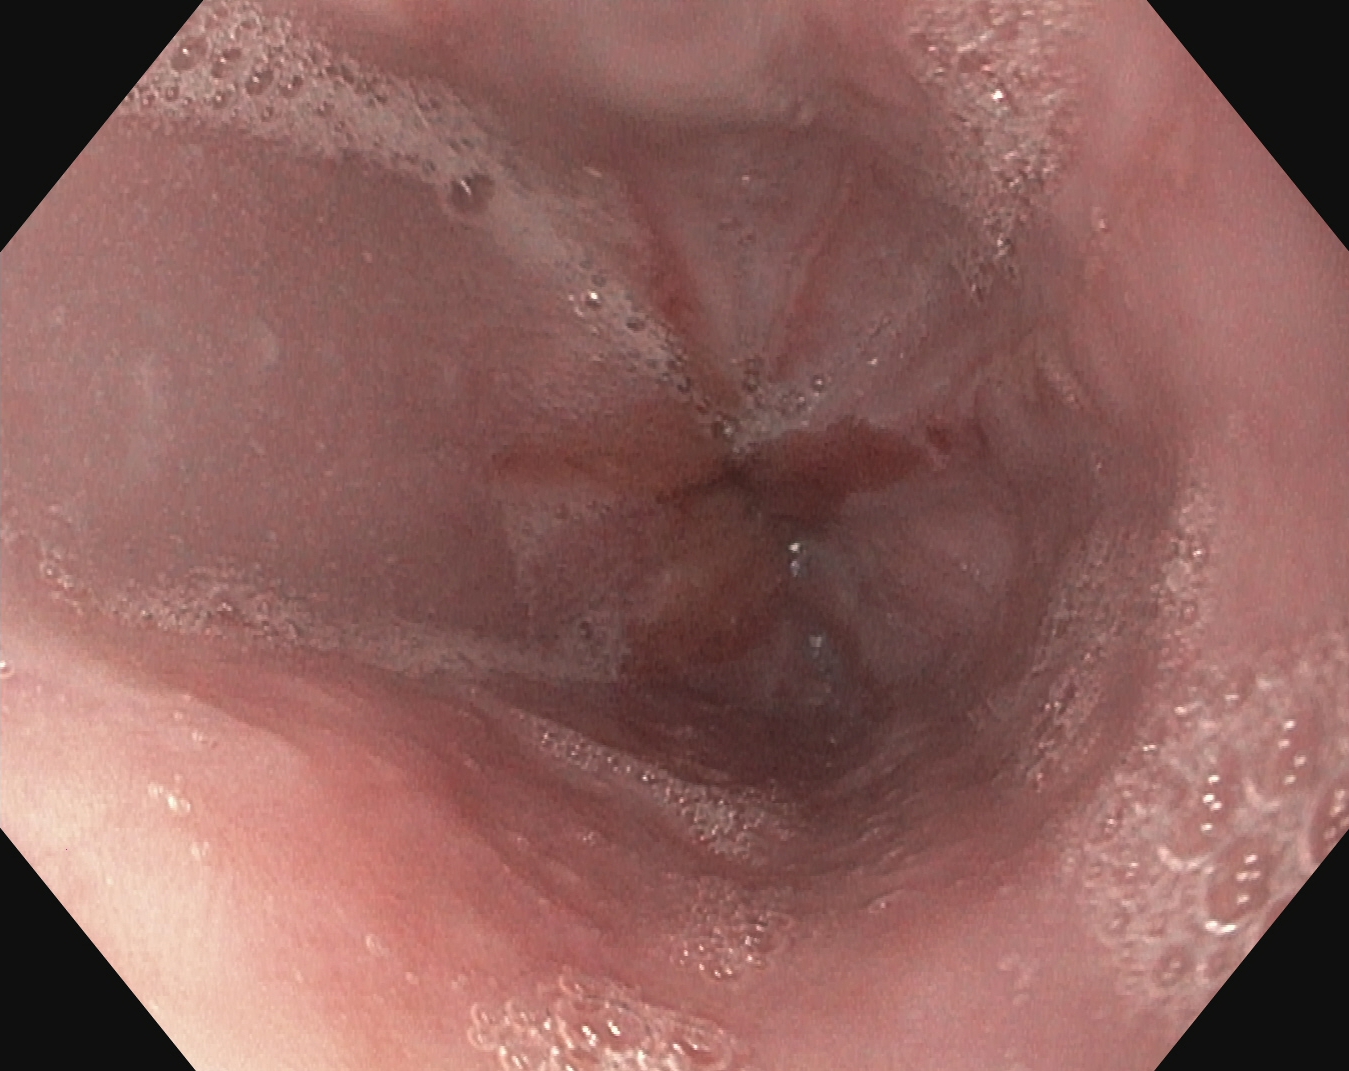modality: upper-GI endoscopy | tract: upper GI tract | finding: reflux esophagitis, LA grade B–D